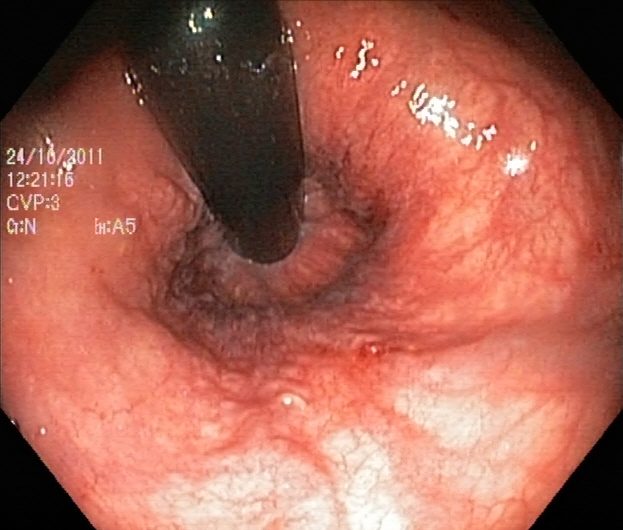PROCEDURE: Colonoscopy.
FINDINGS: Rectum in retroflexion.